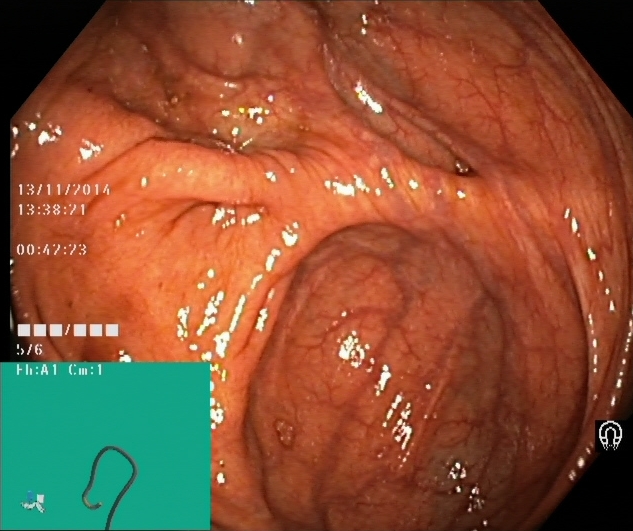modality: colonoscopy | tract: lower GI tract | finding: cecum